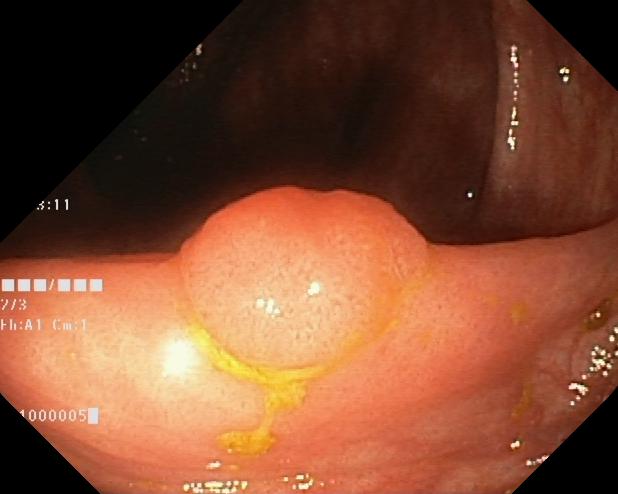Endoscopic image of the lower GI tract showing colorectal polyp(s).